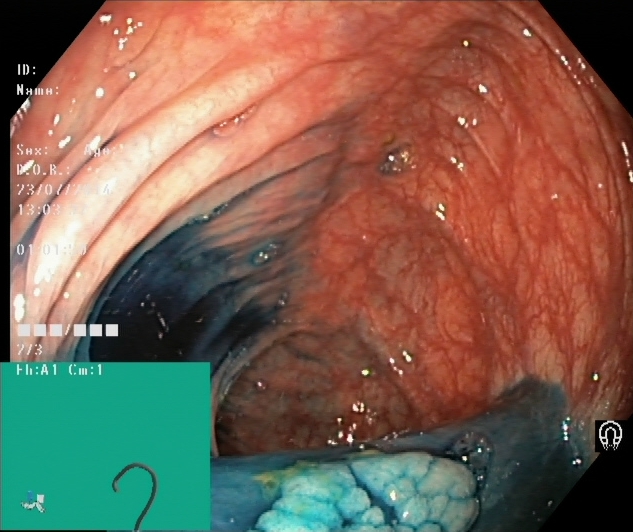Gastrointestinal endoscopy image of the lower GI tract showing dyed and lifted polyp (pre-resection).